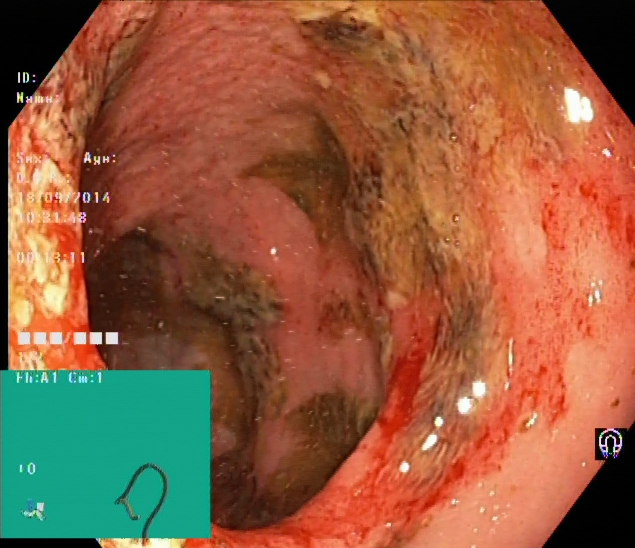{"modality": "lower gastrointestinal endoscopy", "tract": "lower GI tract", "category": "mucosal-view quality", "finding": "Boston Bowel Preparation Scale score 0\u20131 (inadequate preparation)"}